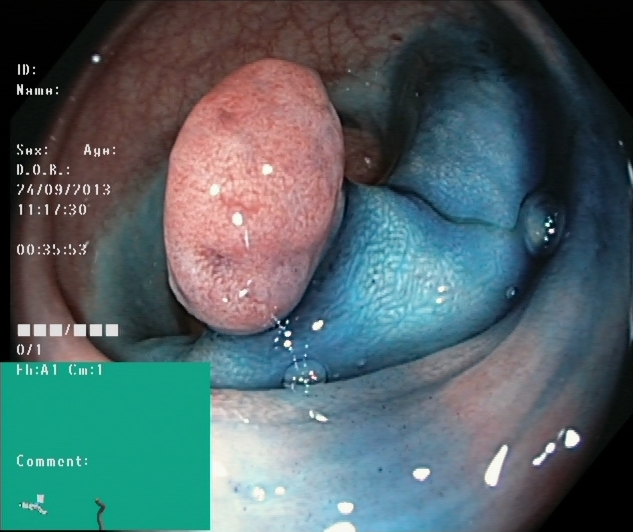Lower-GI endoscopy. Tract: lower GI tract. Finding: dyed and lifted polyp (pre-resection).